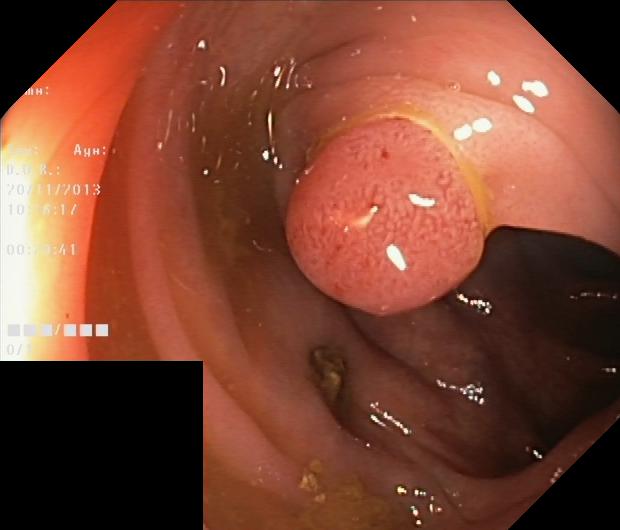{"modality": "colonoscopy", "tract": "lower GI tract", "category": "pathological finding", "finding": "colorectal polyp(s)"}